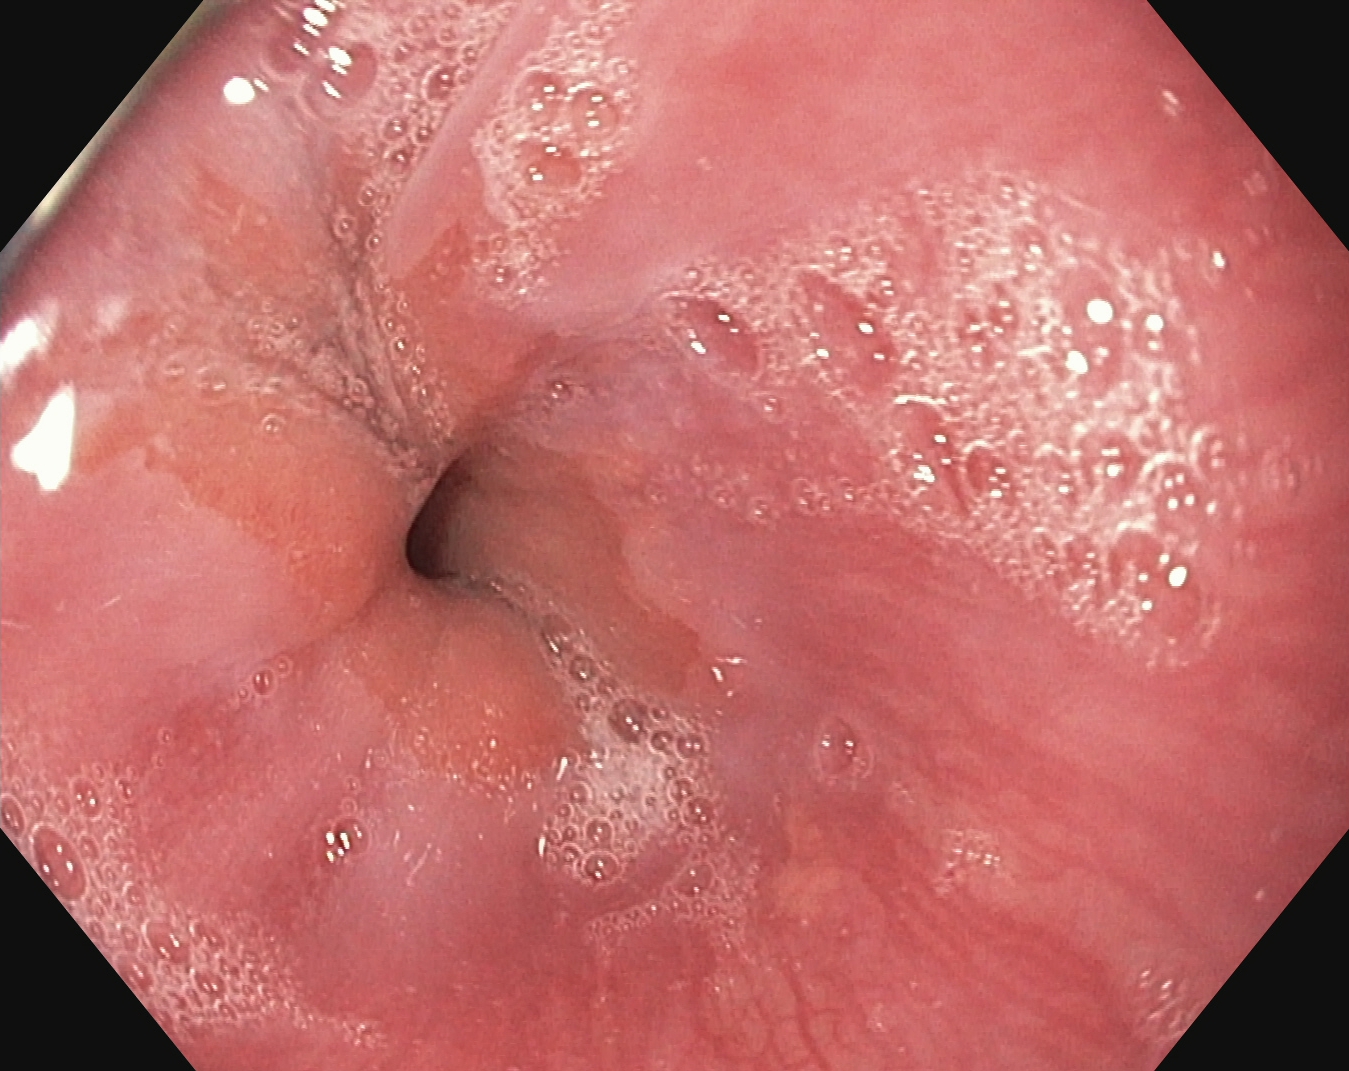{"modality": "esophagogastroduodenoscopy", "category": "anatomical landmark", "finding": "Z-line (gastroesophageal junction)"}